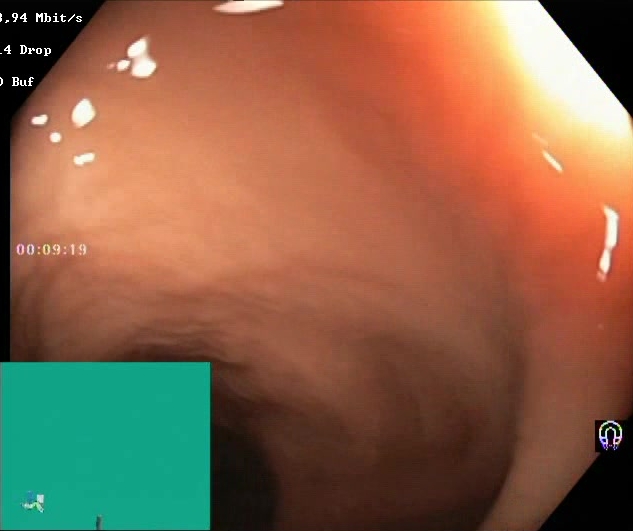This endoscopy frame of the lower GI tract shows Boston Bowel Preparation Scale score 2–3 (adequate preparation).